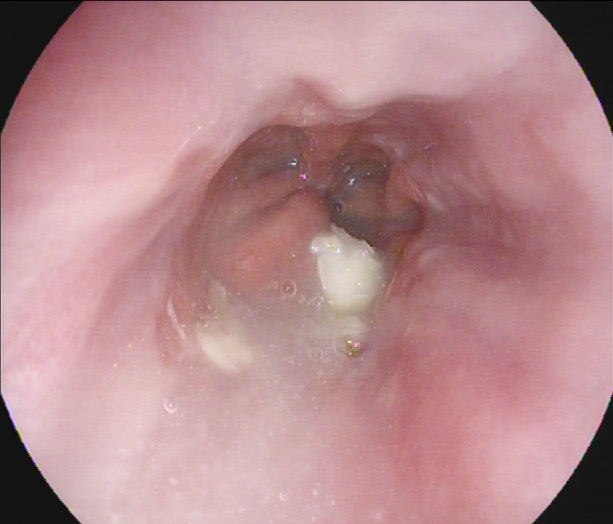This endoscopic image shows Z-line (gastroesophageal junction).